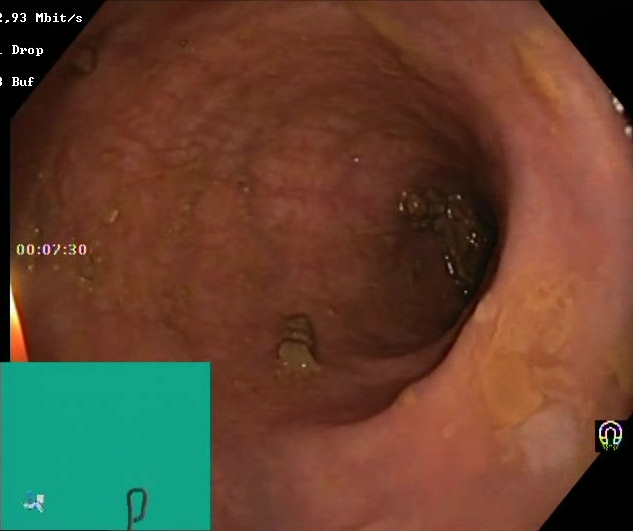PROCEDURE: Colonoscopy.
FINDINGS: Boston Bowel Preparation Scale score 2–3 (adequate preparation).